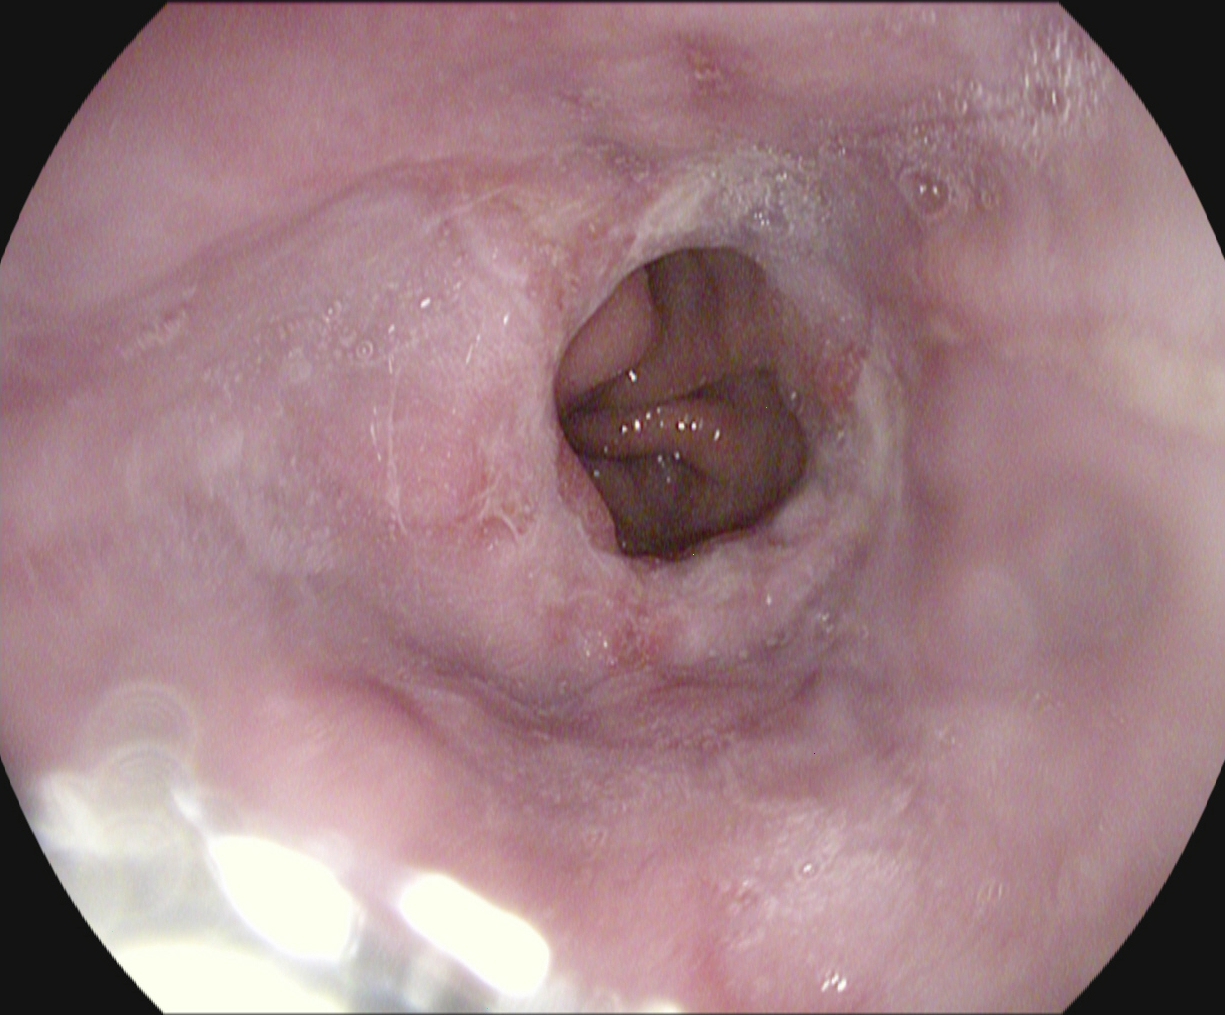Reflux esophagitis, Los Angeles grade B–D.